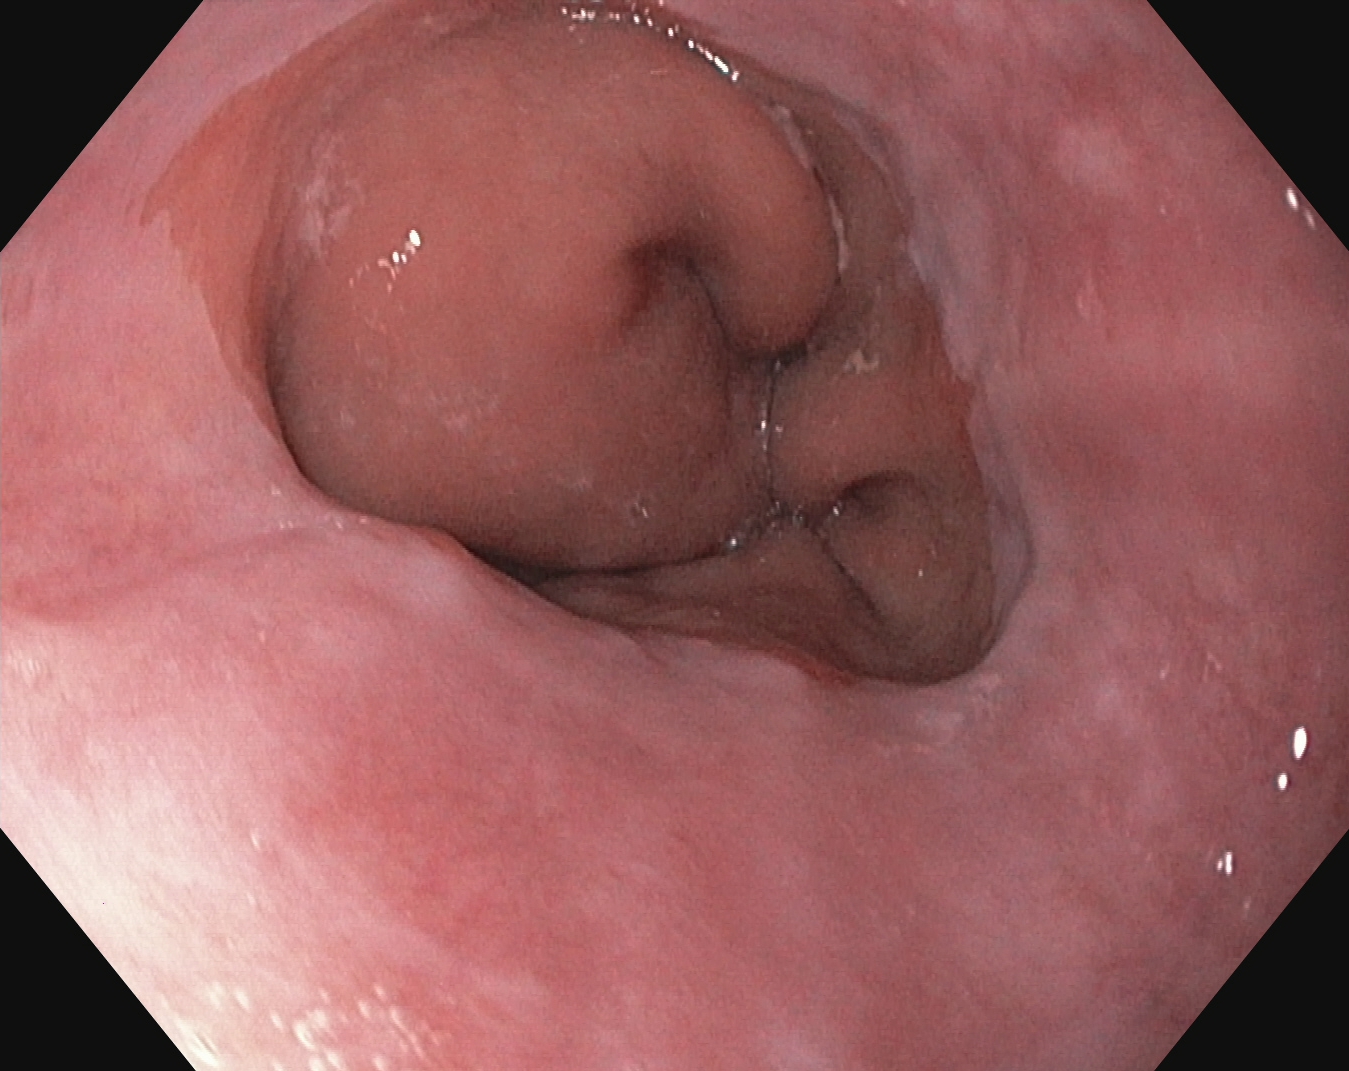This endoscopy frame of the upper GI tract shows Z-line (gastroesophageal junction).